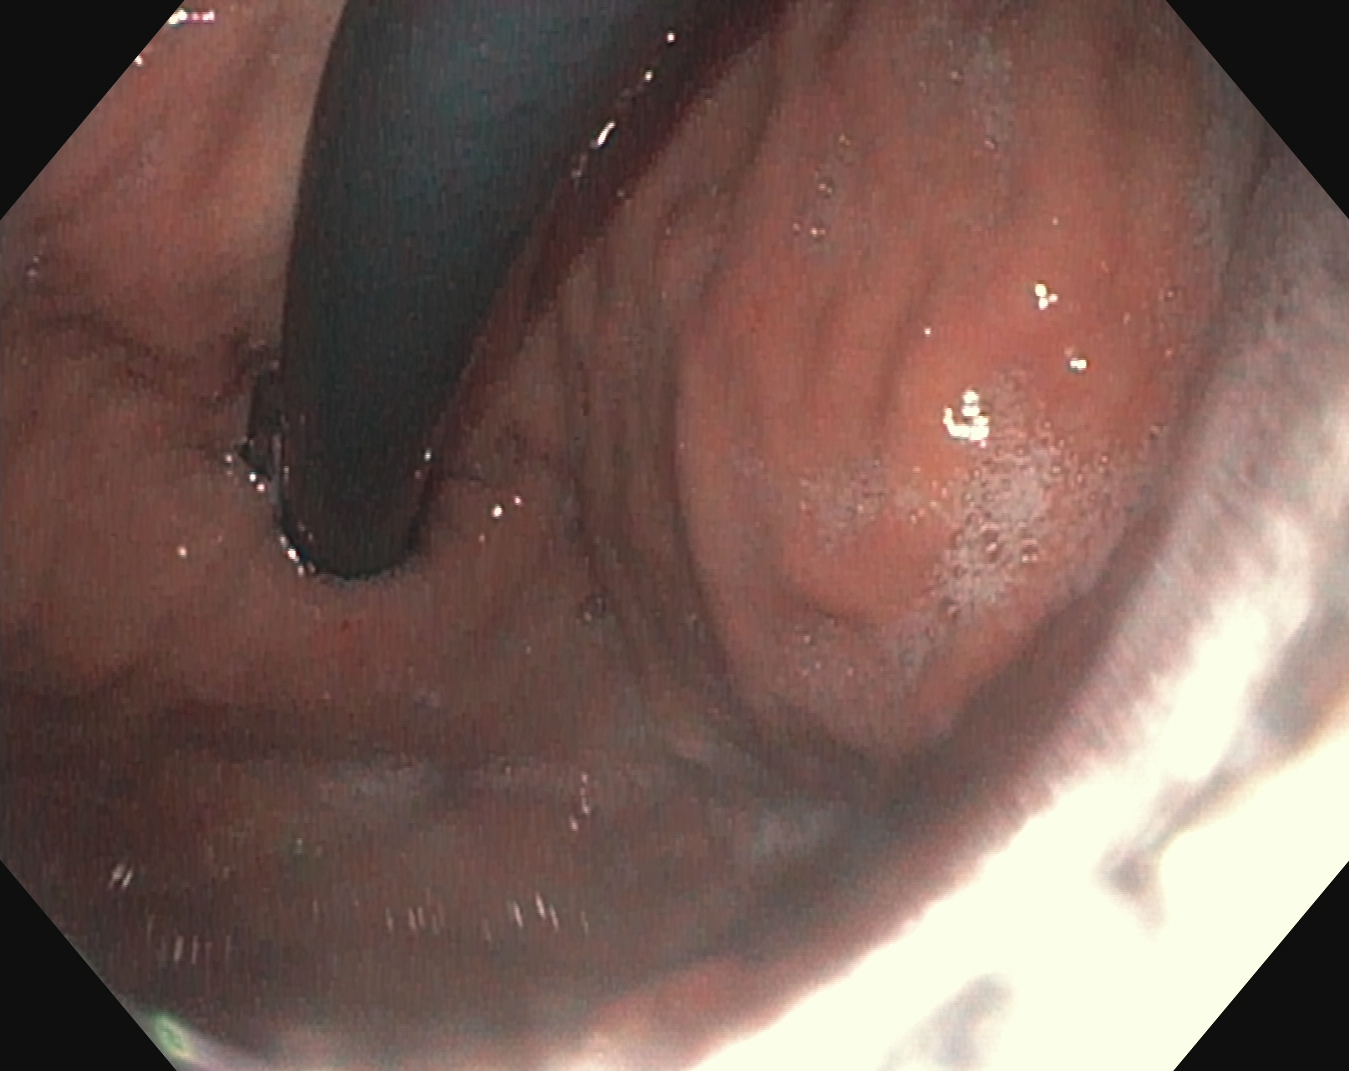Stomach in retroflexion.